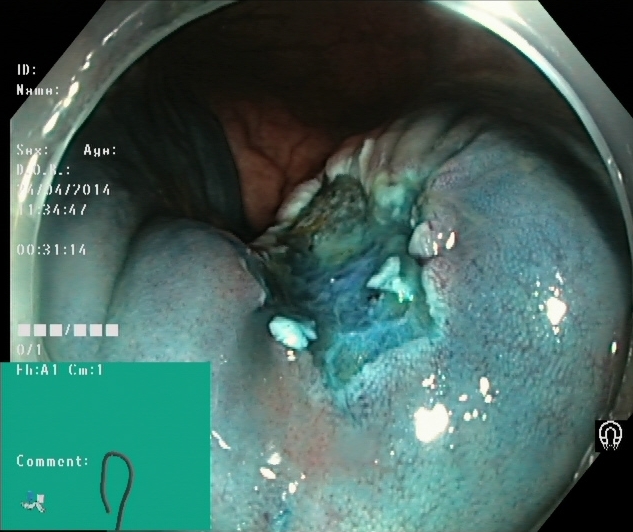modality: lower-GI endoscopy | tract: lower GI tract | category: therapeutic intervention | finding: dyed resection margins (post-polypectomy)